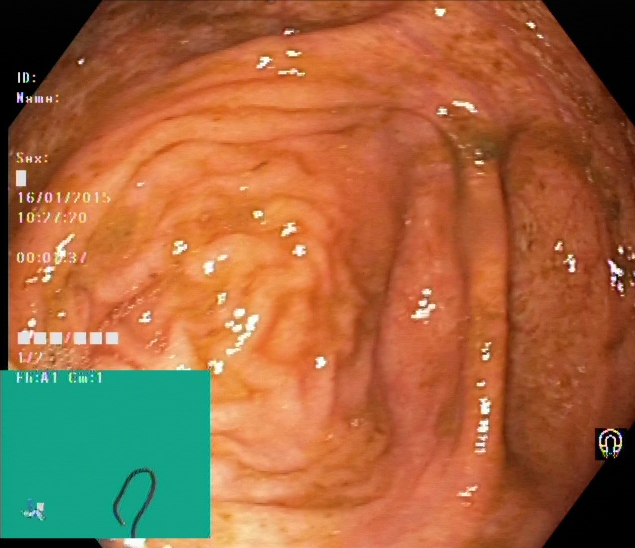This endoscopy frame of the lower GI tract shows cecum.